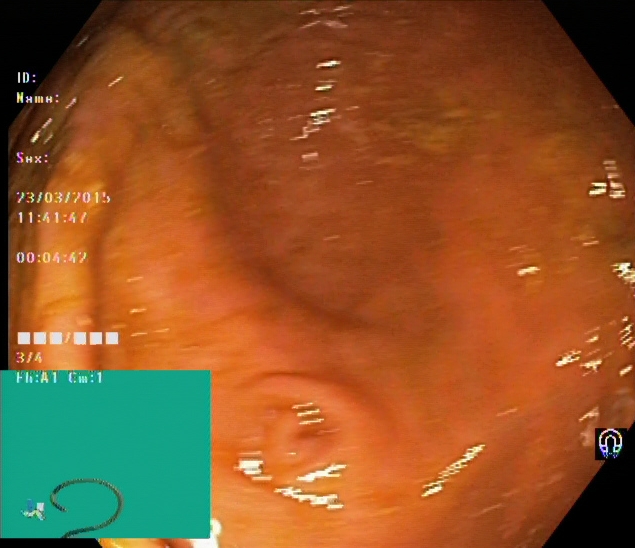modality: lower gastrointestinal endoscopy
tract: lower GI tract
category: anatomical landmark
finding: cecum